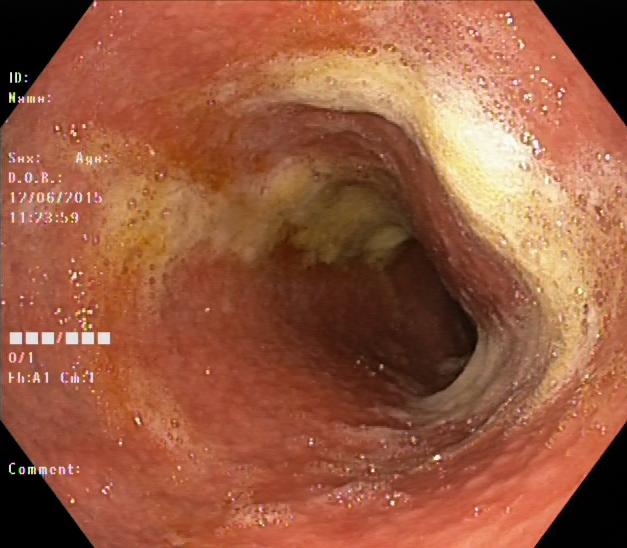Lower gastrointestinal endoscopy. Tract: lower GI tract. Finding: Boston Bowel Preparation Scale score 0–1 (inadequate preparation).